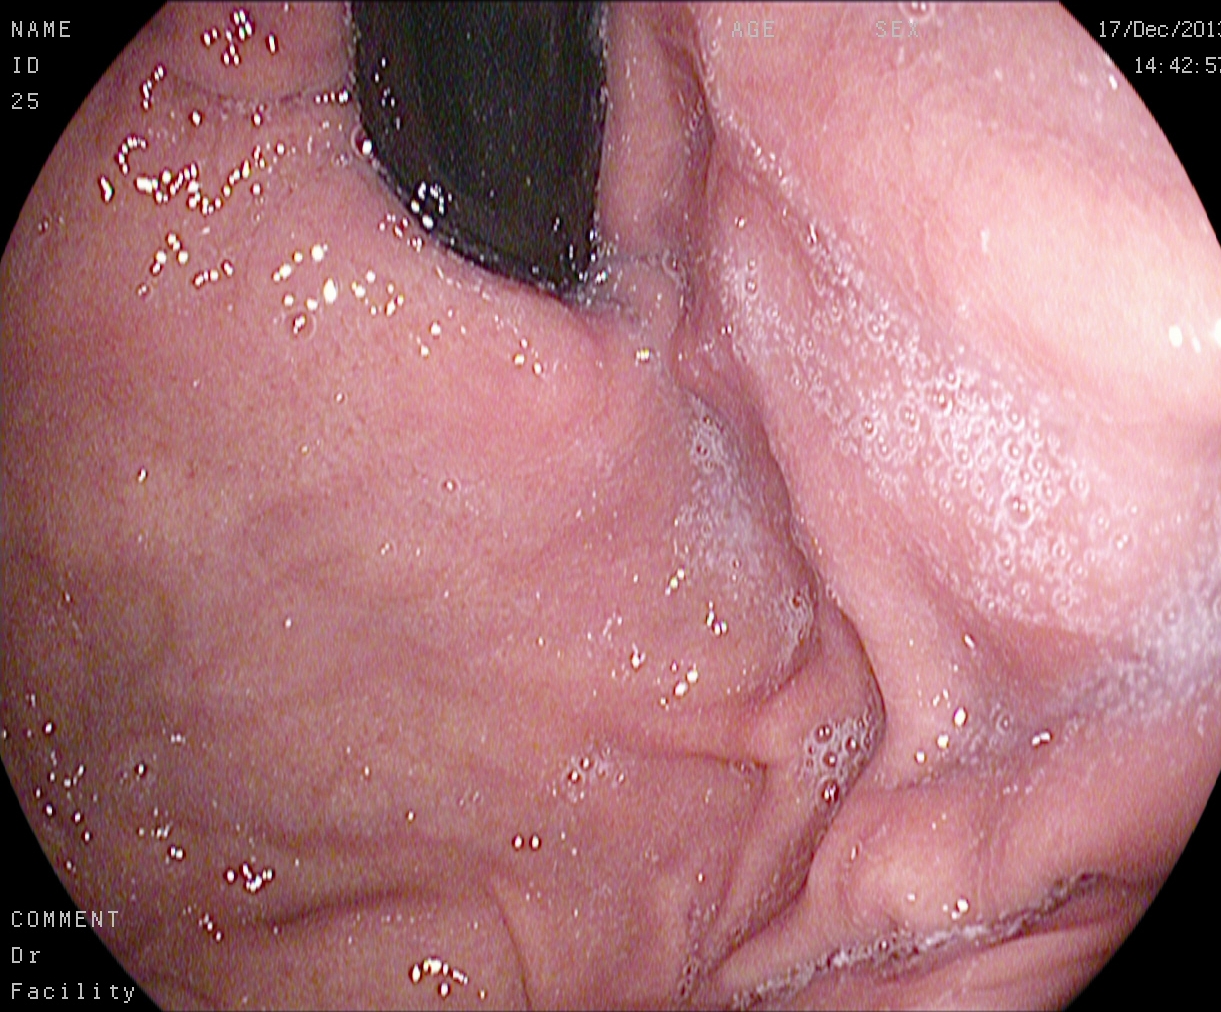Gastroscopy. Finding: stomach in retroflexion.